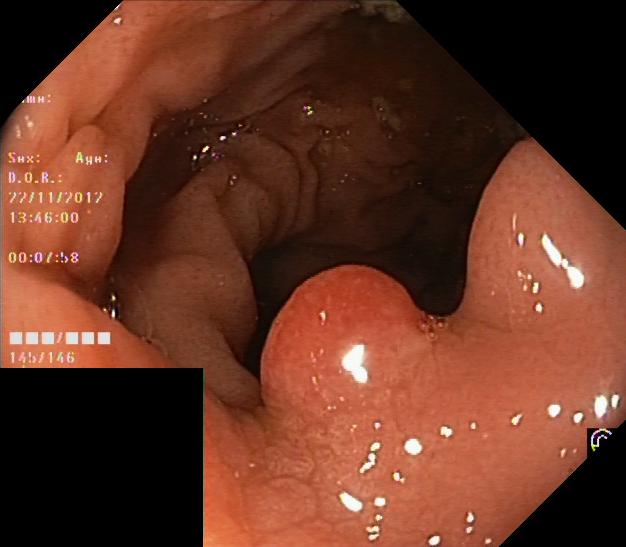{"modality": "lower-GI endoscopy", "finding": "colorectal polyp(s)"}